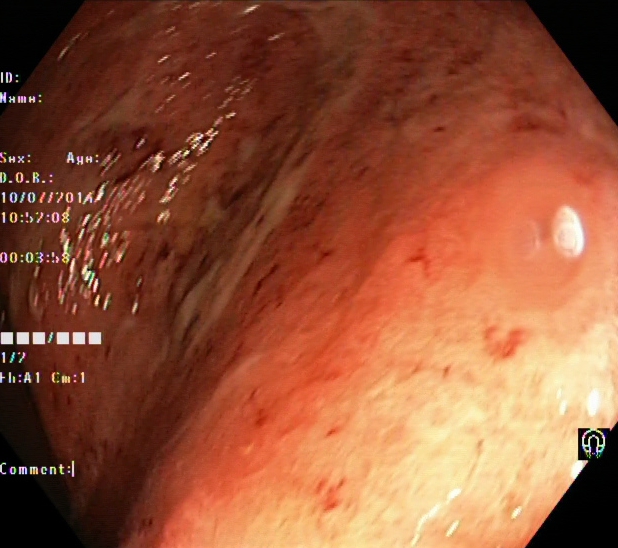PROCEDURE: Lower-GI endoscopy.
FINDINGS: Ulcerative colitis, Mayo endoscopic subscore 2–3.